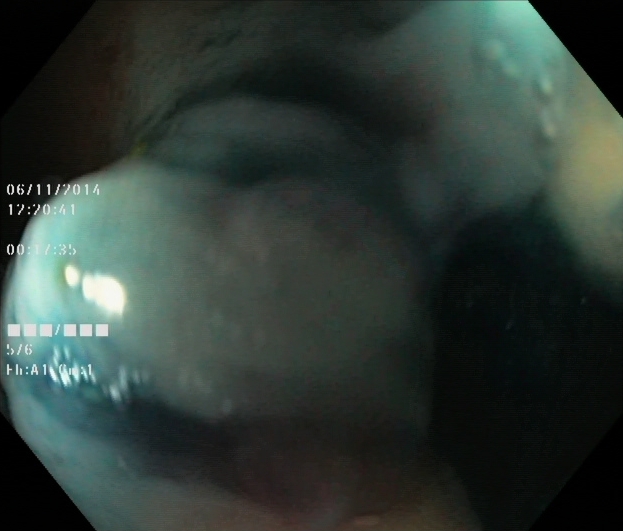{"modality": "lower gastrointestinal endoscopy", "category": "therapeutic intervention", "finding": "dyed and lifted polyp (pre-resection)"}